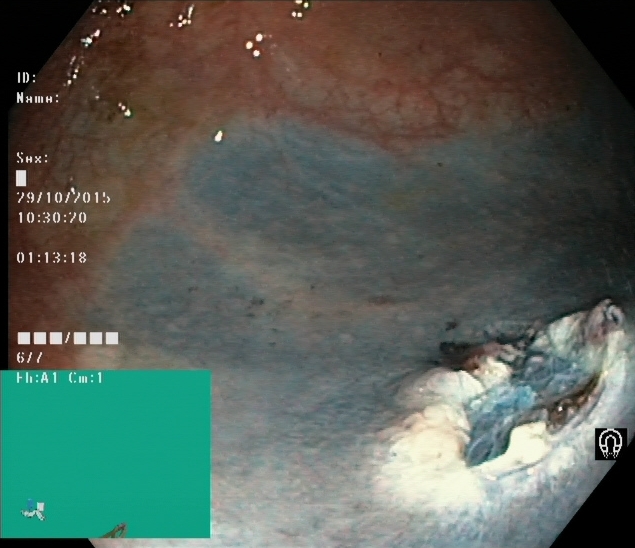Endoscopy image of the lower GI tract showing dyed resection margins (post-polypectomy).